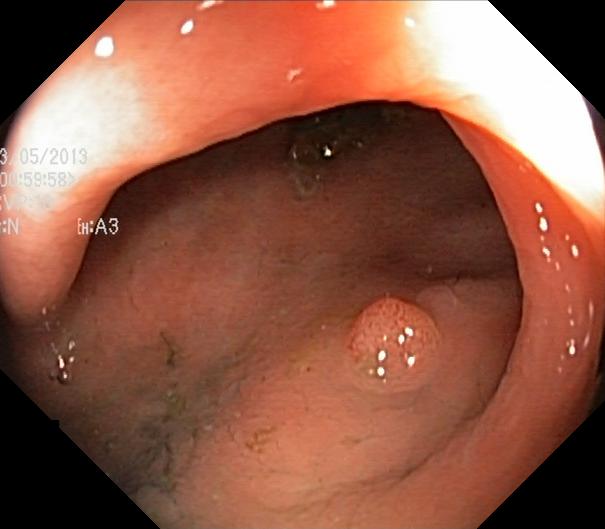GI endoscopy image of the lower GI tract showing colorectal polyp(s).